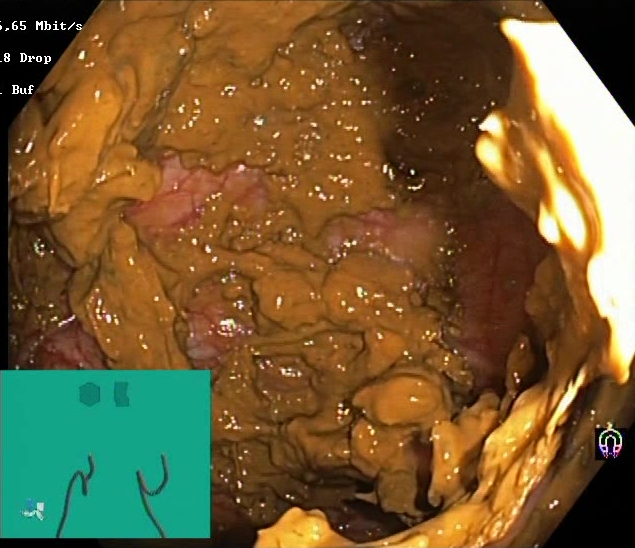Endoscopic frame showing BBPS score 0–1 (inadequate preparation).